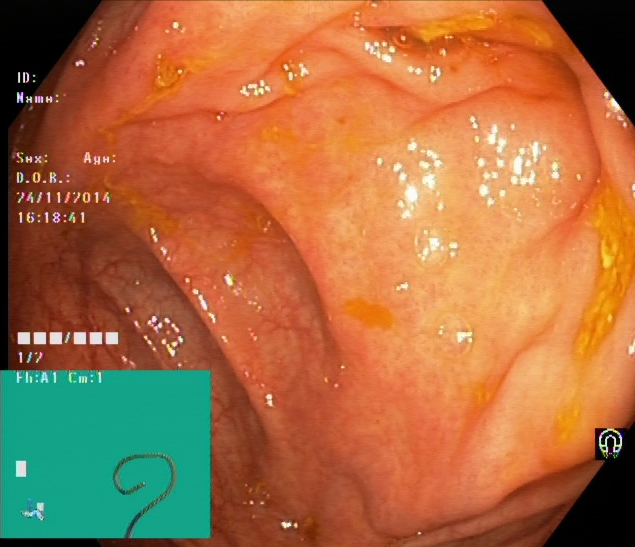modality: lower gastrointestinal endoscopy
finding: cecum